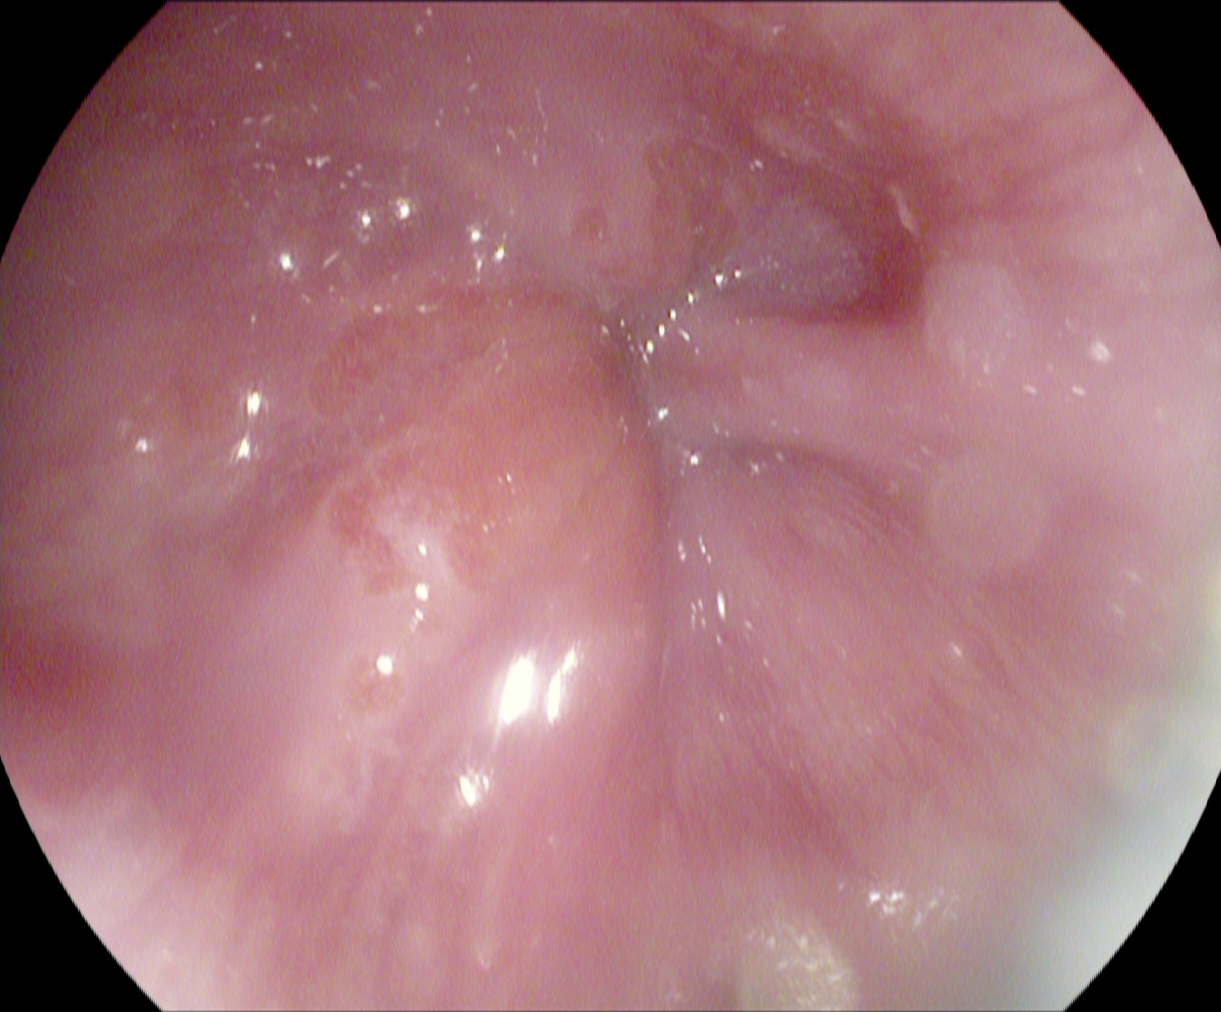Z-line (gastroesophageal junction).